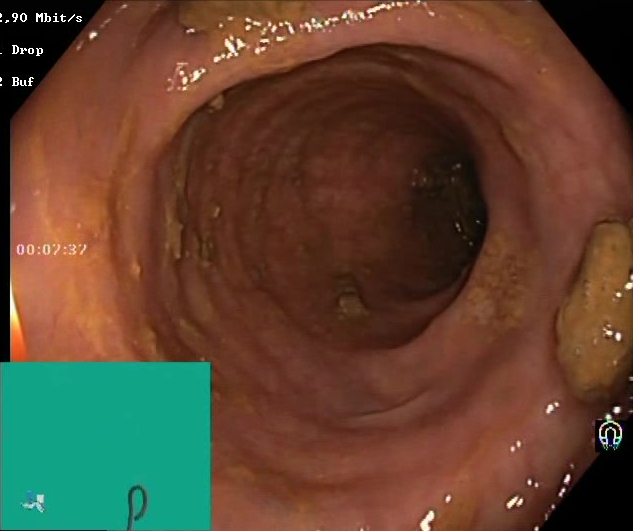{"modality": "lower gastrointestinal endoscopy", "finding": "Boston Bowel Preparation Scale score 2\u20133 (adequate preparation)"}